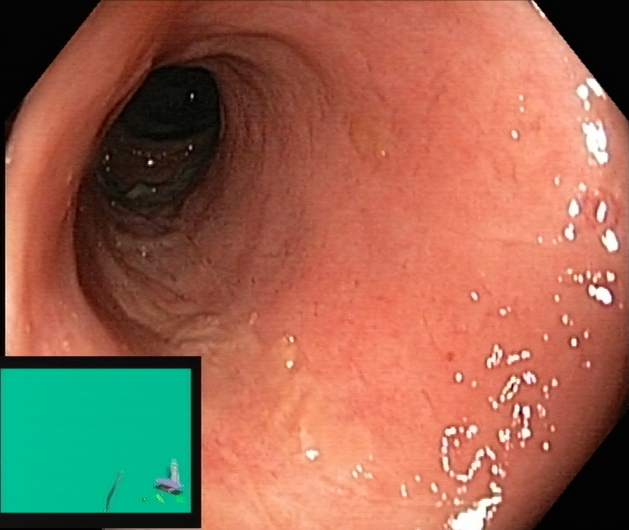Lower-GI endoscopy — UC, Mayo endoscopic subscore 2.